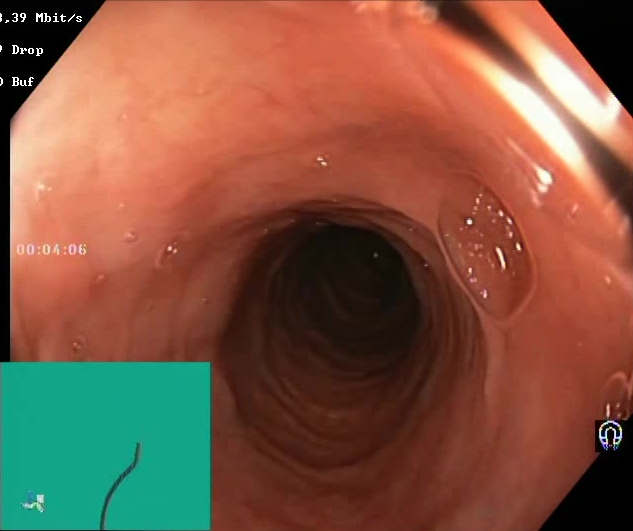{"modality": "lower-GI endoscopy", "category": "mucosal-view quality", "finding": "Boston Bowel Preparation Scale score 2\u20133 (adequate preparation)"}